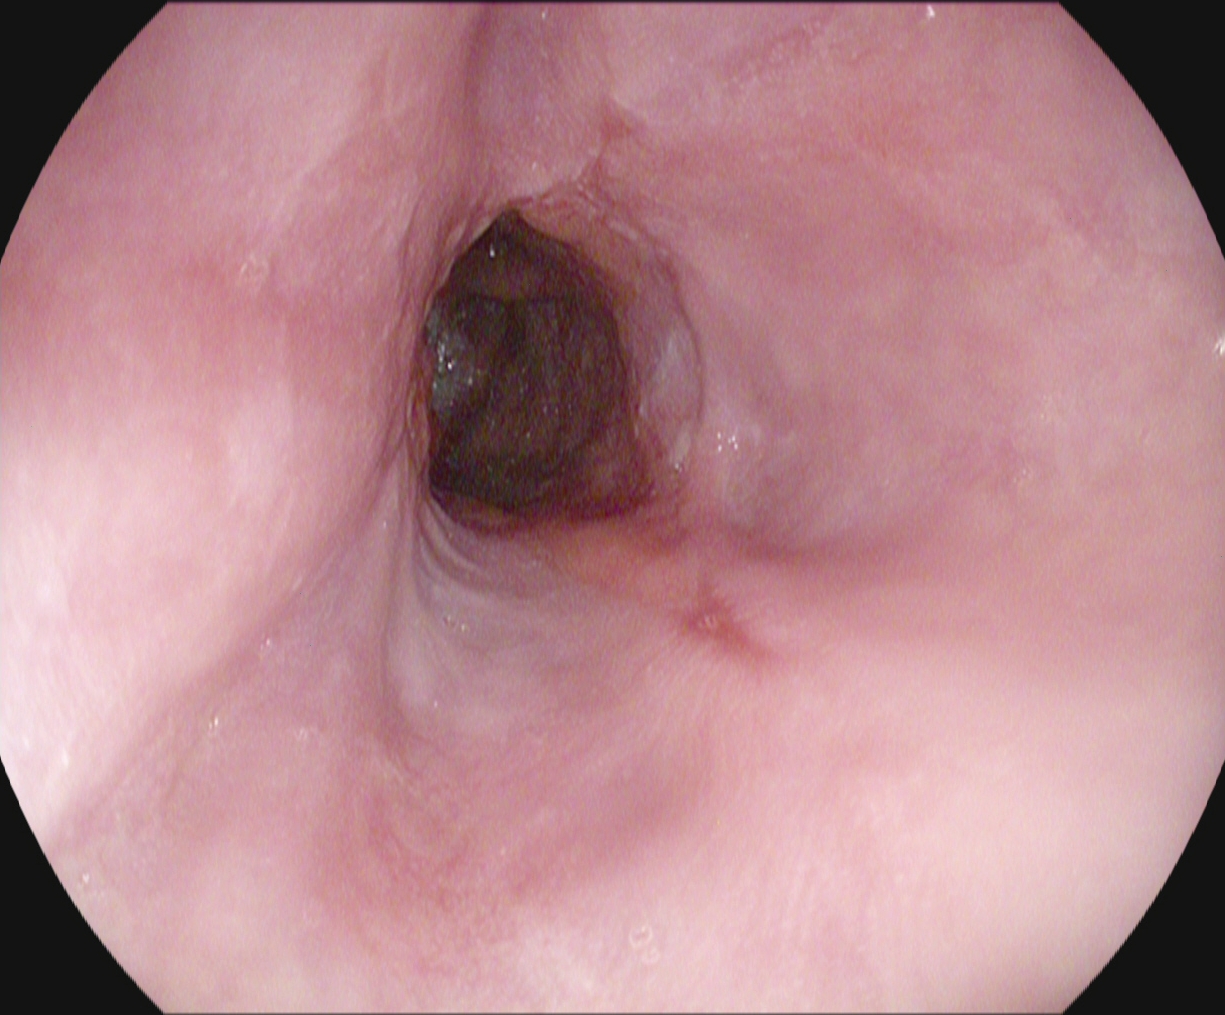{"modality": "EGD", "tract": "upper GI tract", "finding": "reflux esophagitis, Los Angeles grade A"}